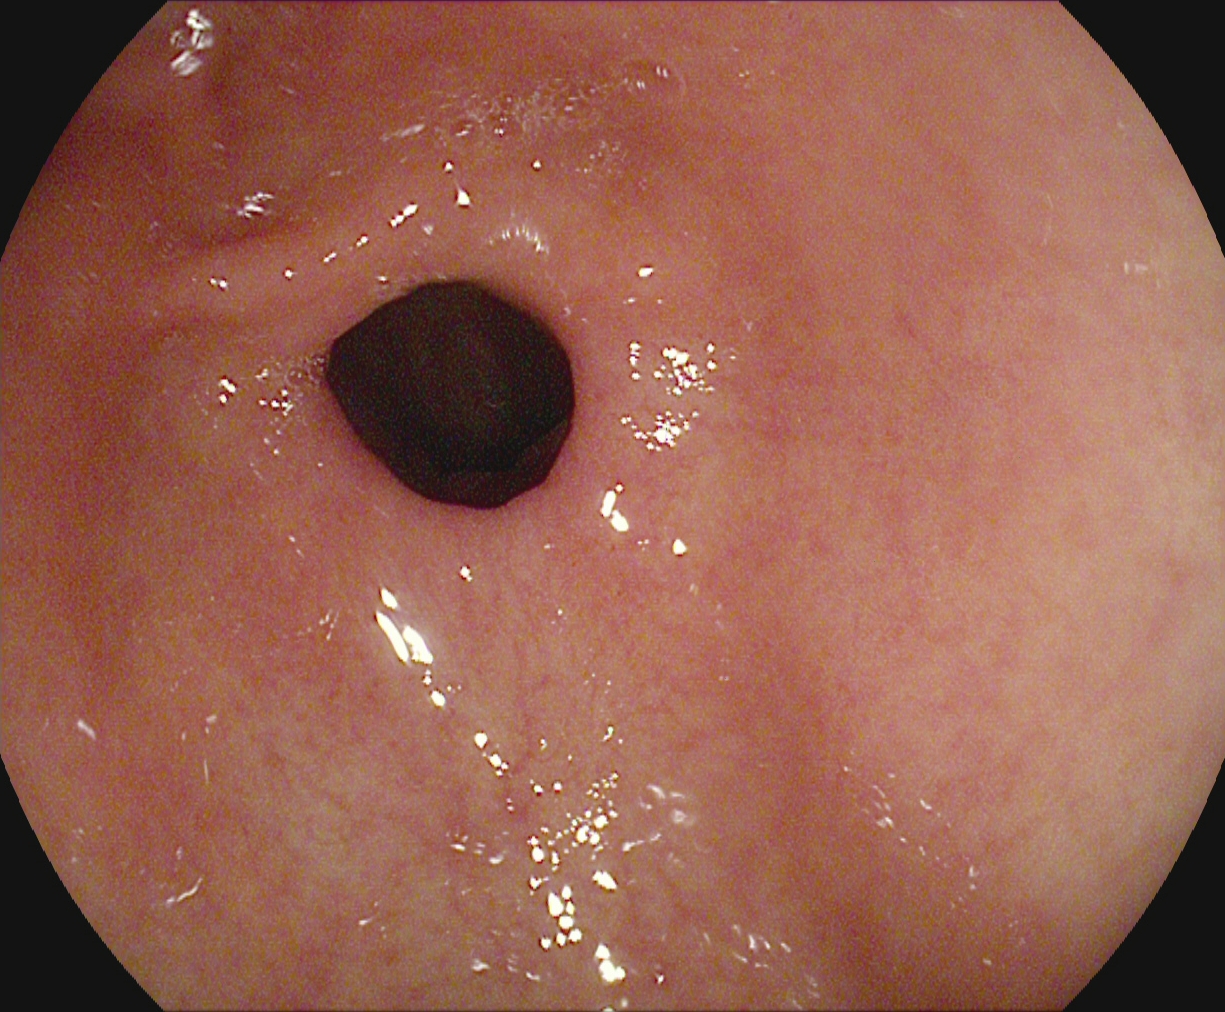{"modality": "EGD", "category": "anatomical landmark", "finding": "pylorus"}